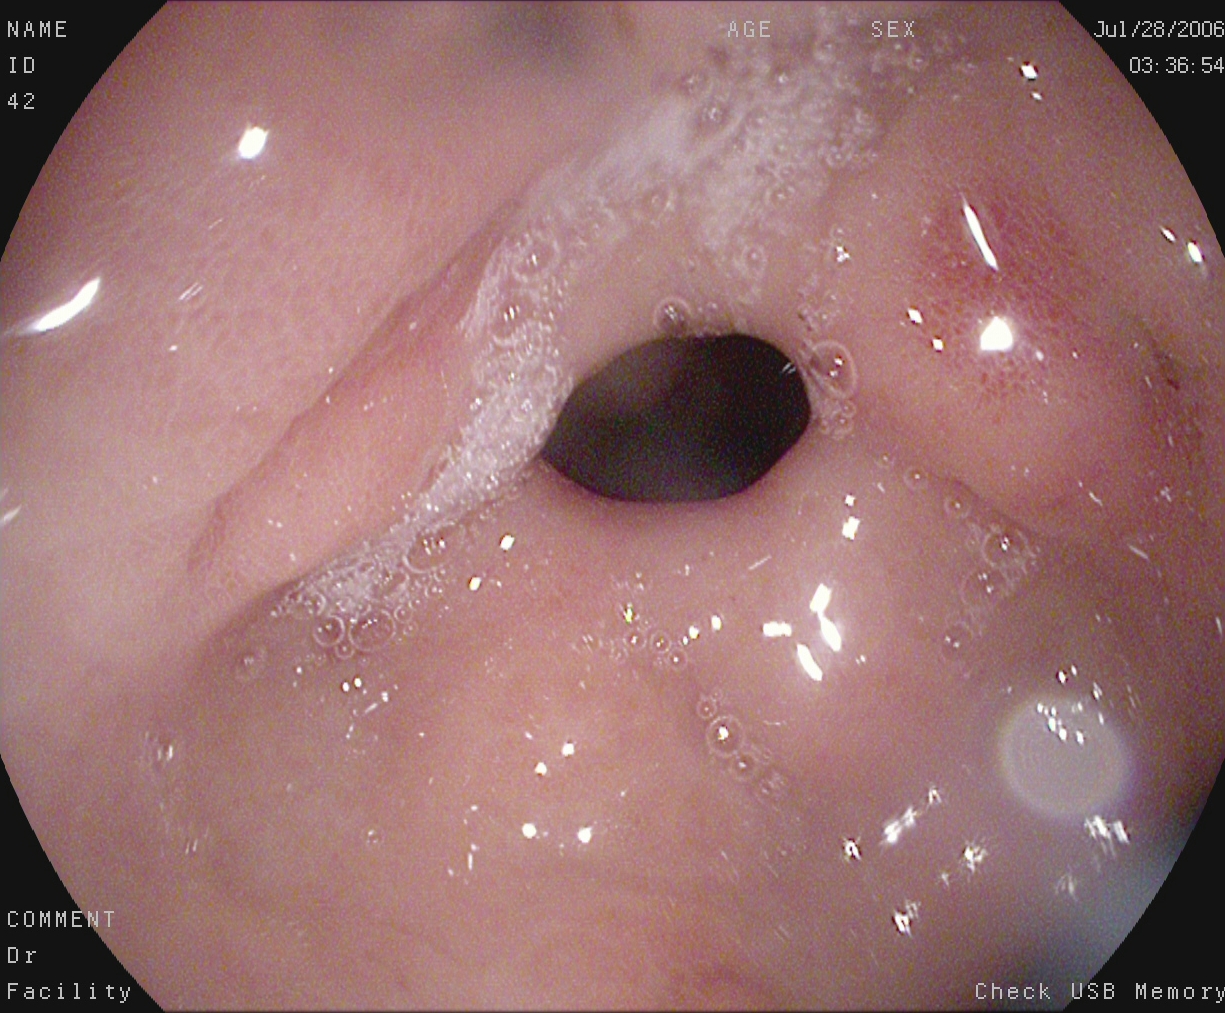{"modality": "upper-GI endoscopy", "finding": "pylorus"}